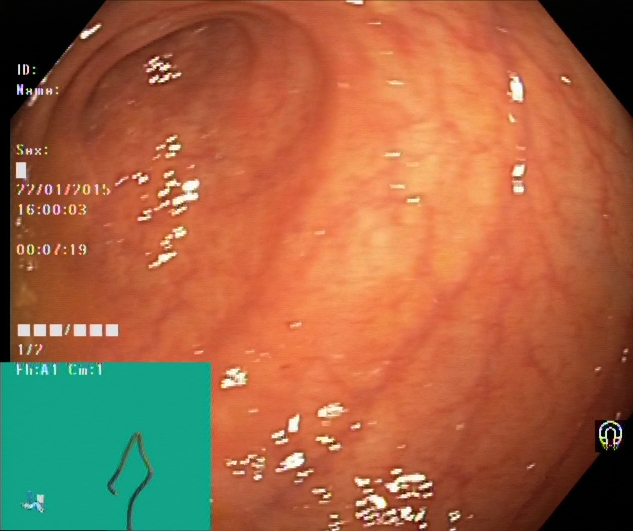cecum.